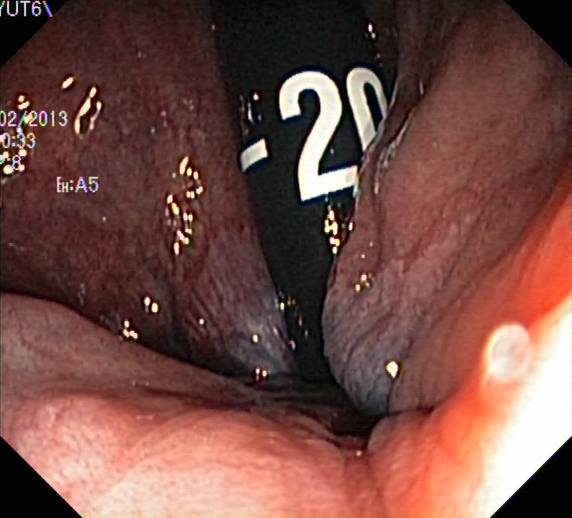Rectum in retroflexion.